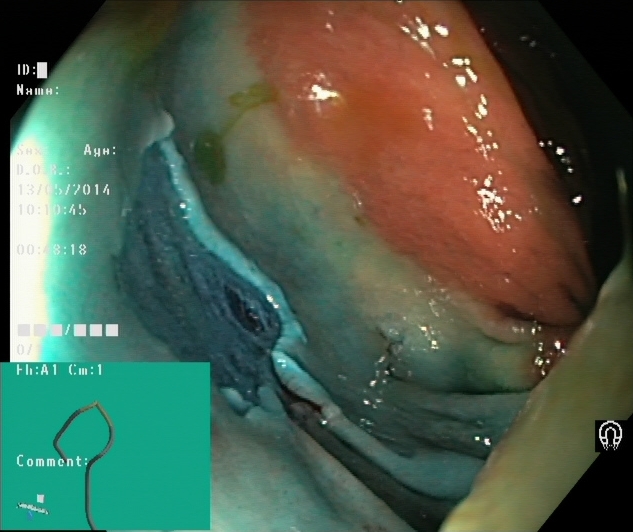Lower-GI endoscopy — dyed resection margins (post-polypectomy).